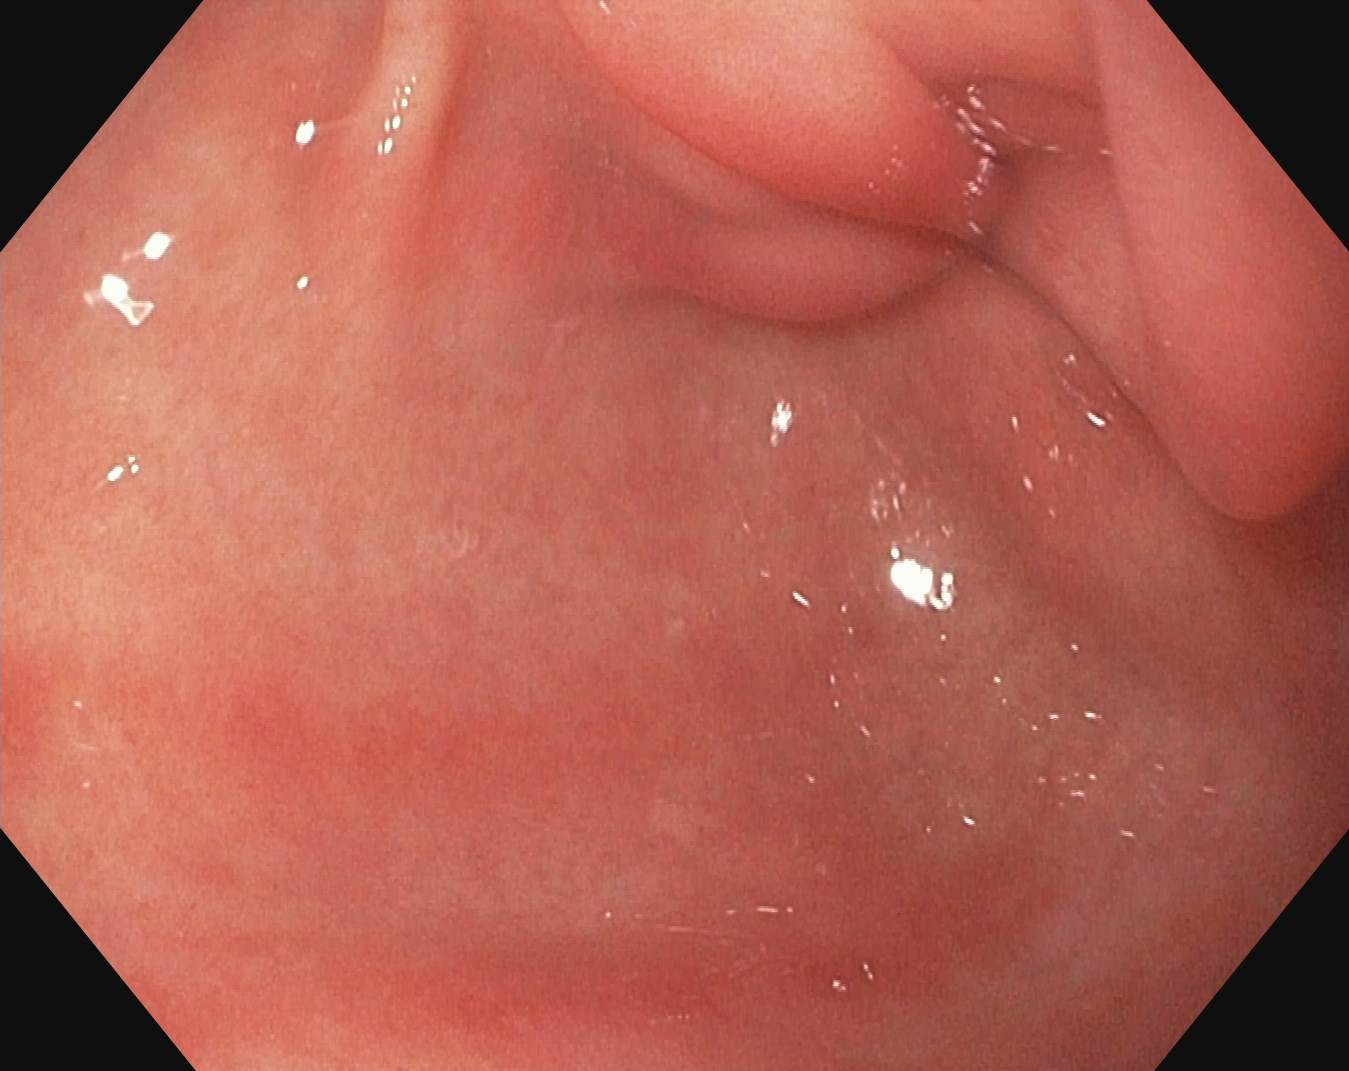{"modality": "esophagogastroduodenoscopy", "tract": "upper GI tract", "finding": "pylorus"}